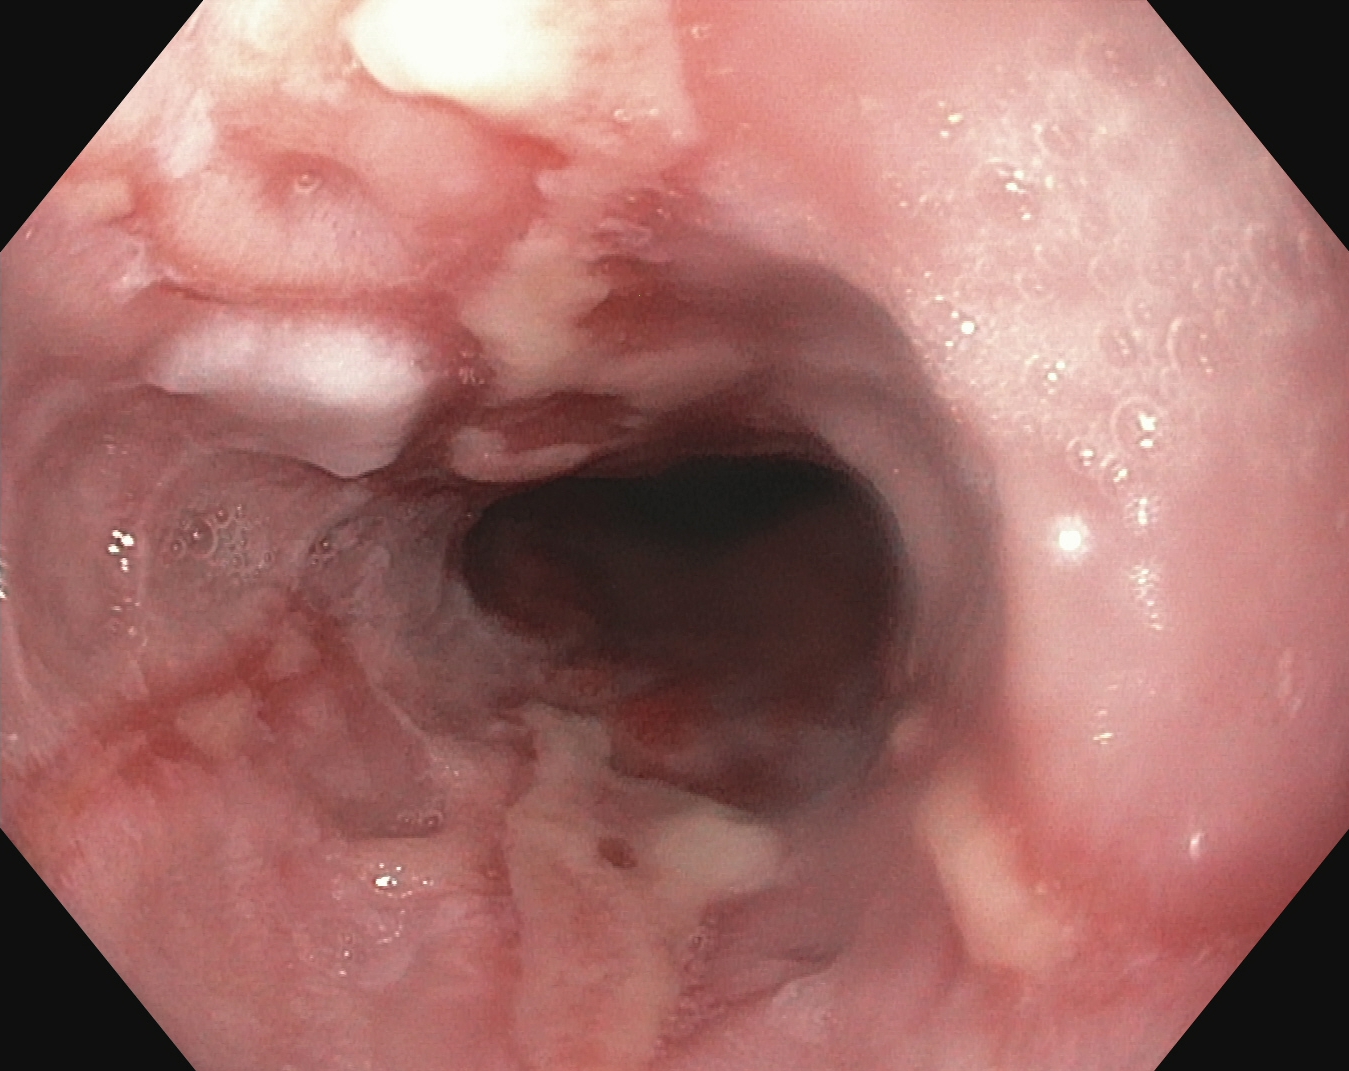{"modality": "upper-GI endoscopy", "tract": "upper GI tract", "finding": "reflux esophagitis, LA grade B\u2013D"}